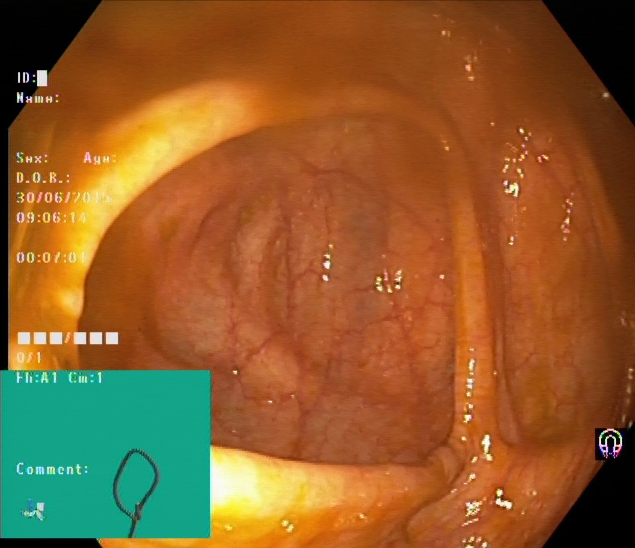Cecum.